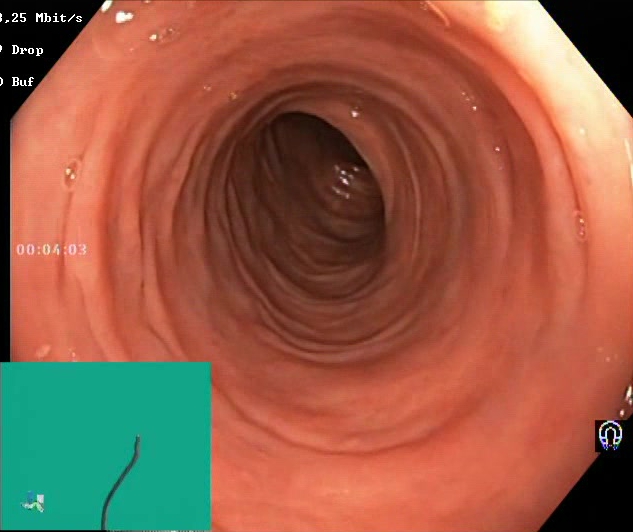PROCEDURE: Lower-GI endoscopy.
FINDINGS: BBPS score 2–3 (adequate preparation).